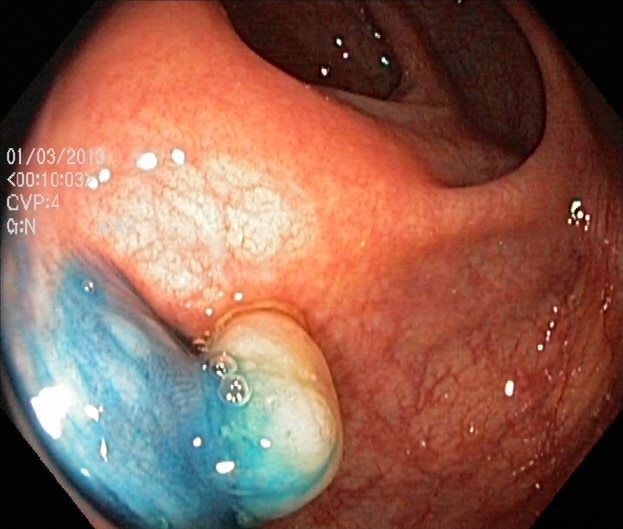This endoscopy frame shows dyed and lifted polyp (pre-resection).